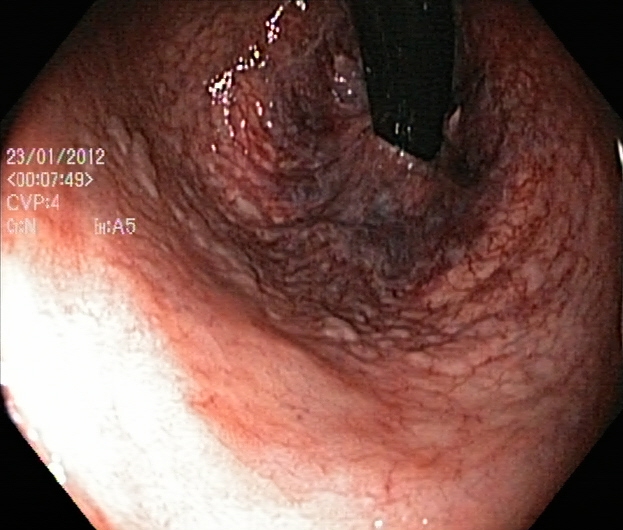This endoscopic image of the lower GI tract shows rectum in retroflexion.